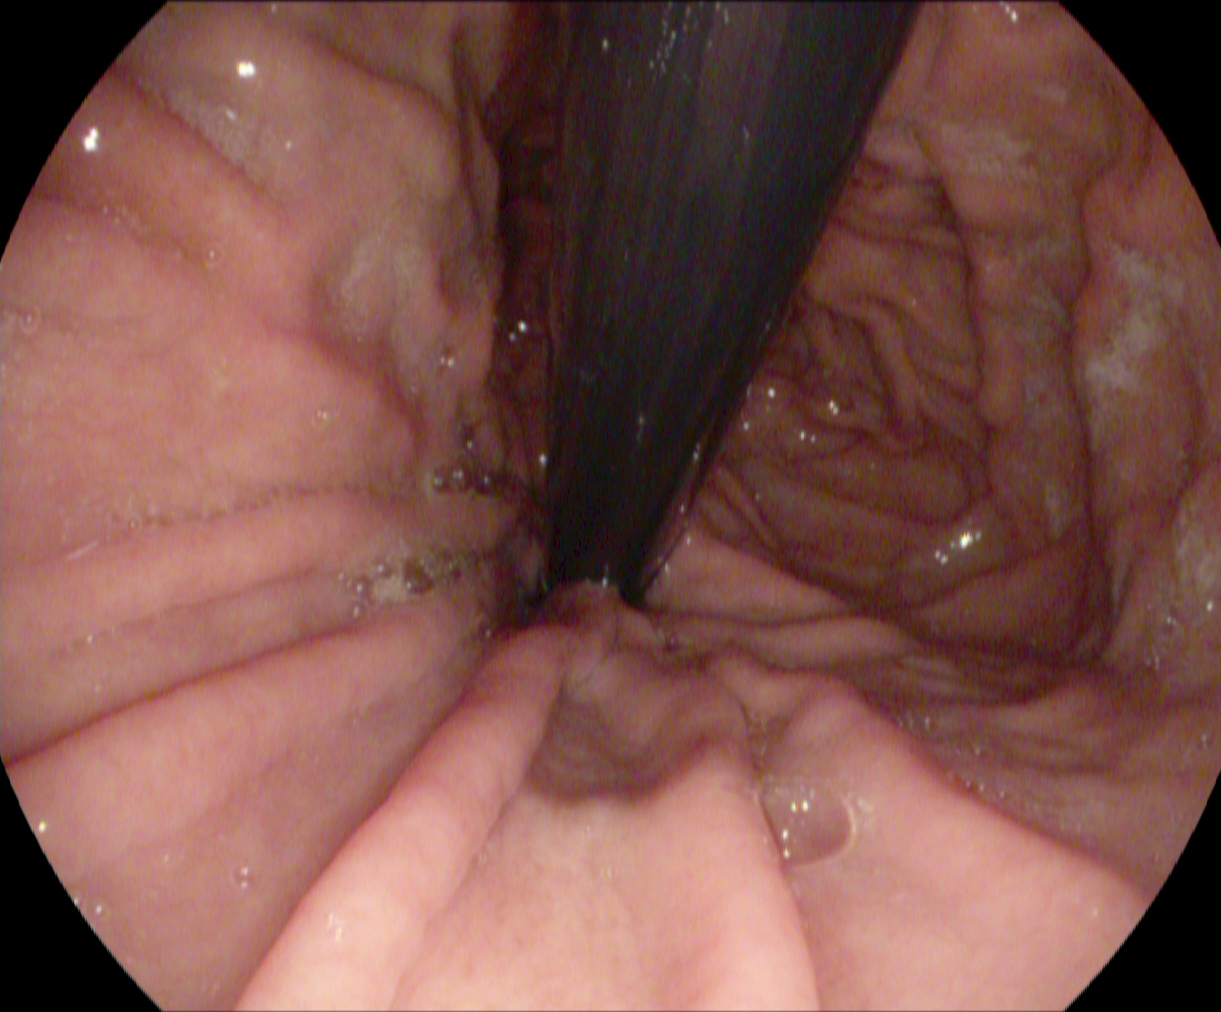{"modality": "upper-GI endoscopy", "finding": "stomach in retroflexion"}